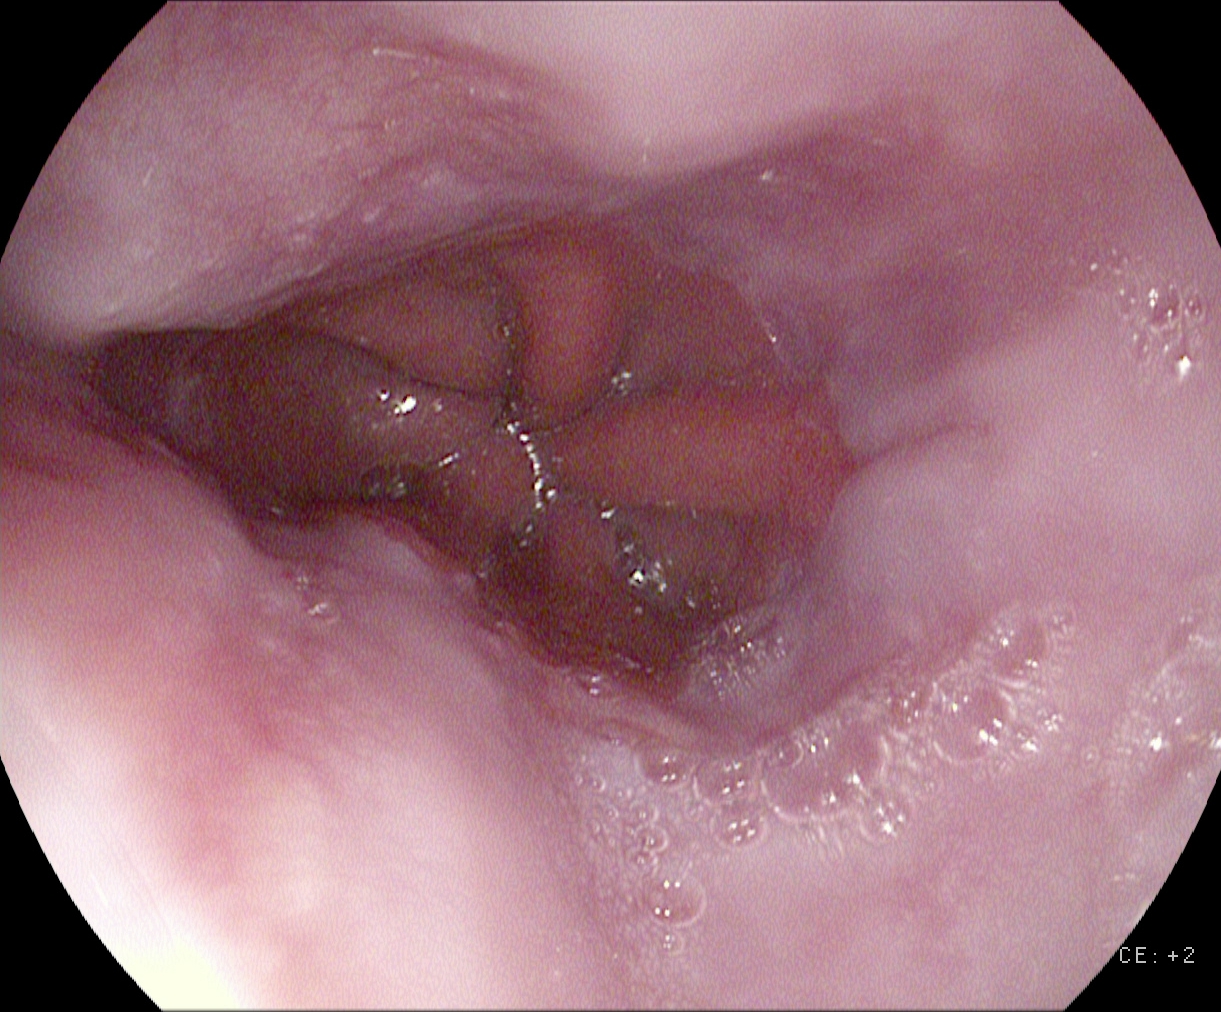Gastroscopy. Finding: reflux esophagitis, Los Angeles grade A.